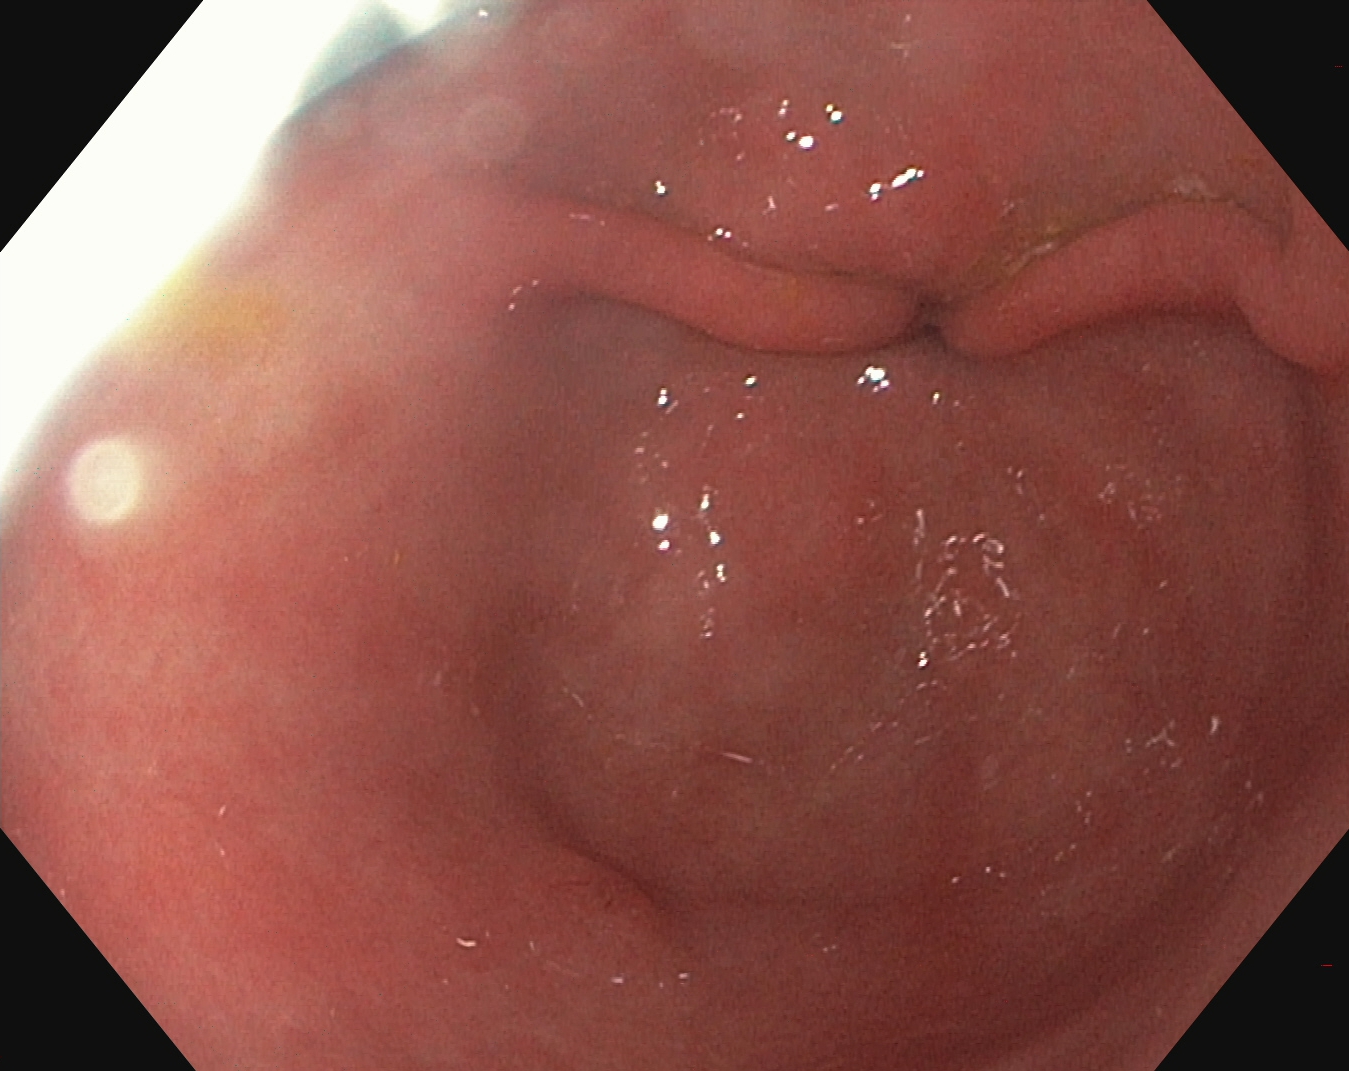modality: gastroscopy; tract: upper GI tract; finding: pylorus